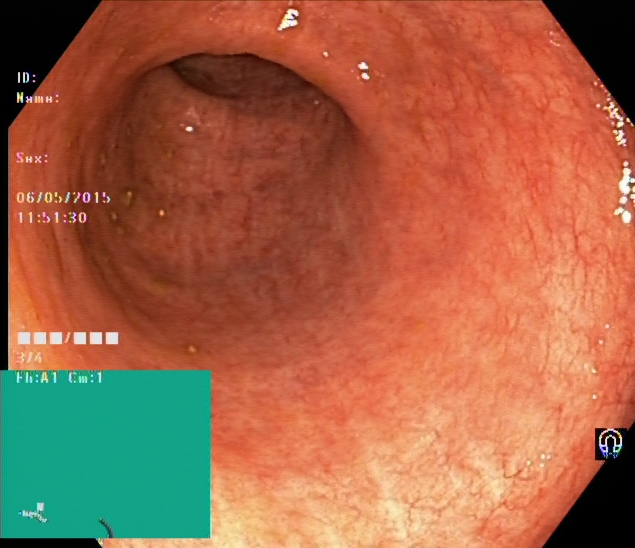modality: lower gastrointestinal endoscopy | category: pathological finding | finding: ulcerative colitis, Mayo endoscopic subscore 0–1